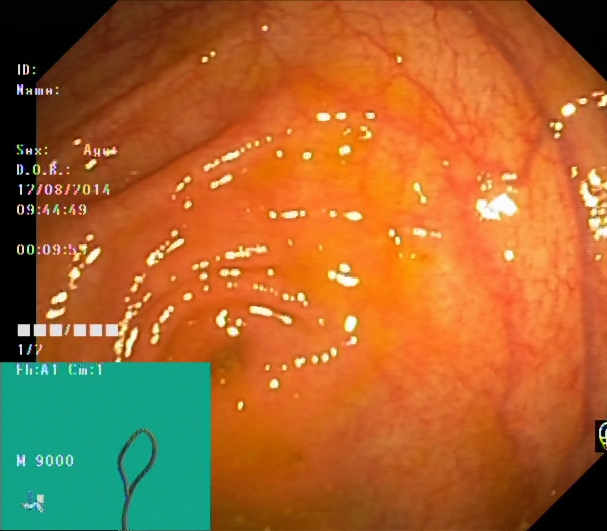Lower gastrointestinal endoscopy image showing cecum.